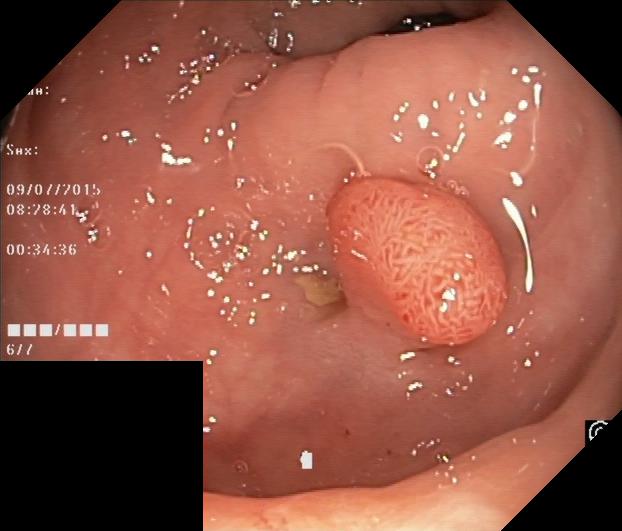{"modality": "lower gastrointestinal endoscopy", "tract": "lower GI tract", "finding": "colorectal polyp(s)"}